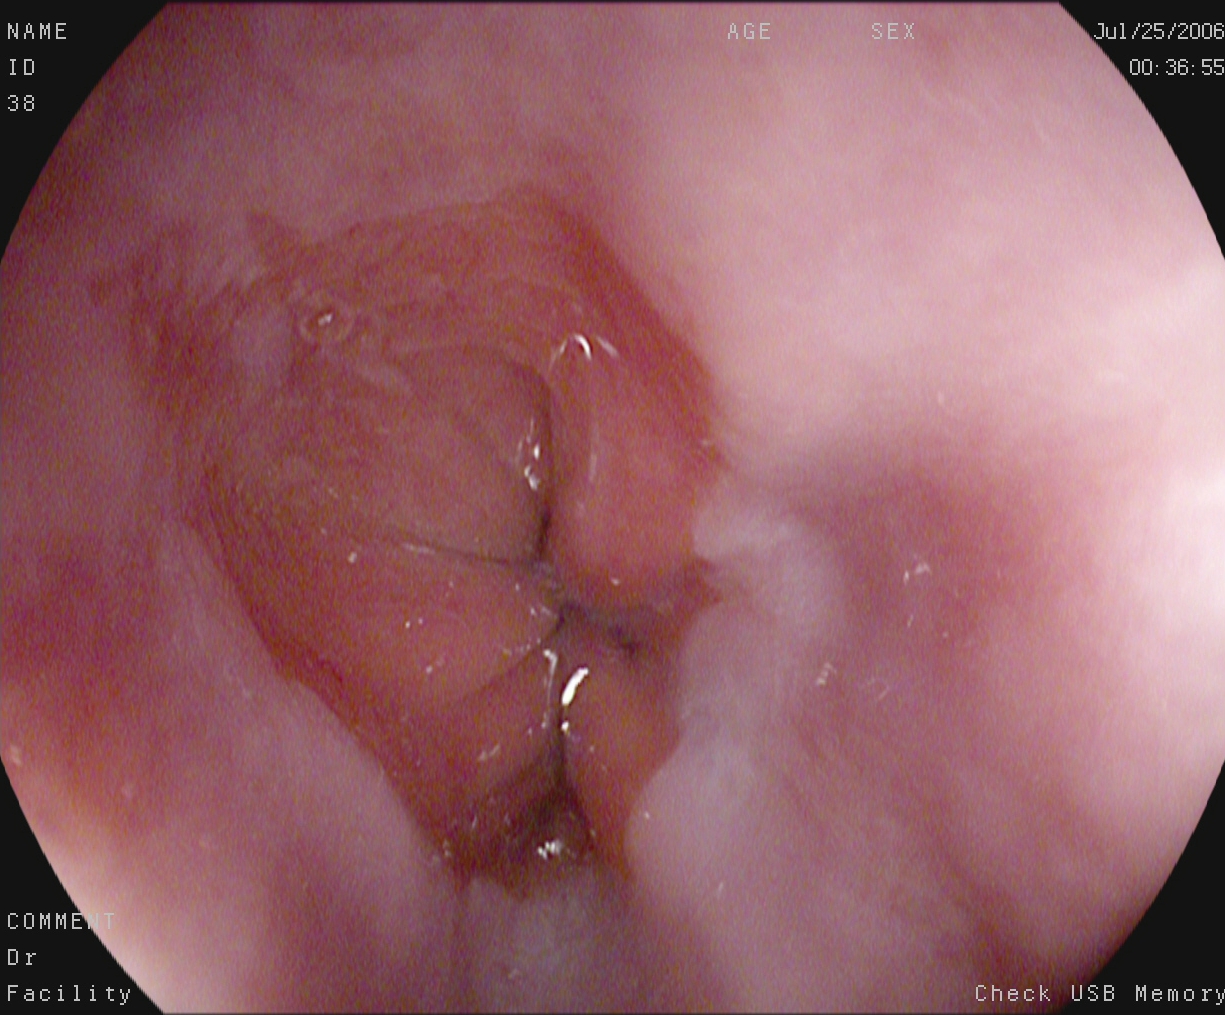This endoscopy frame shows Z-line (gastroesophageal junction).